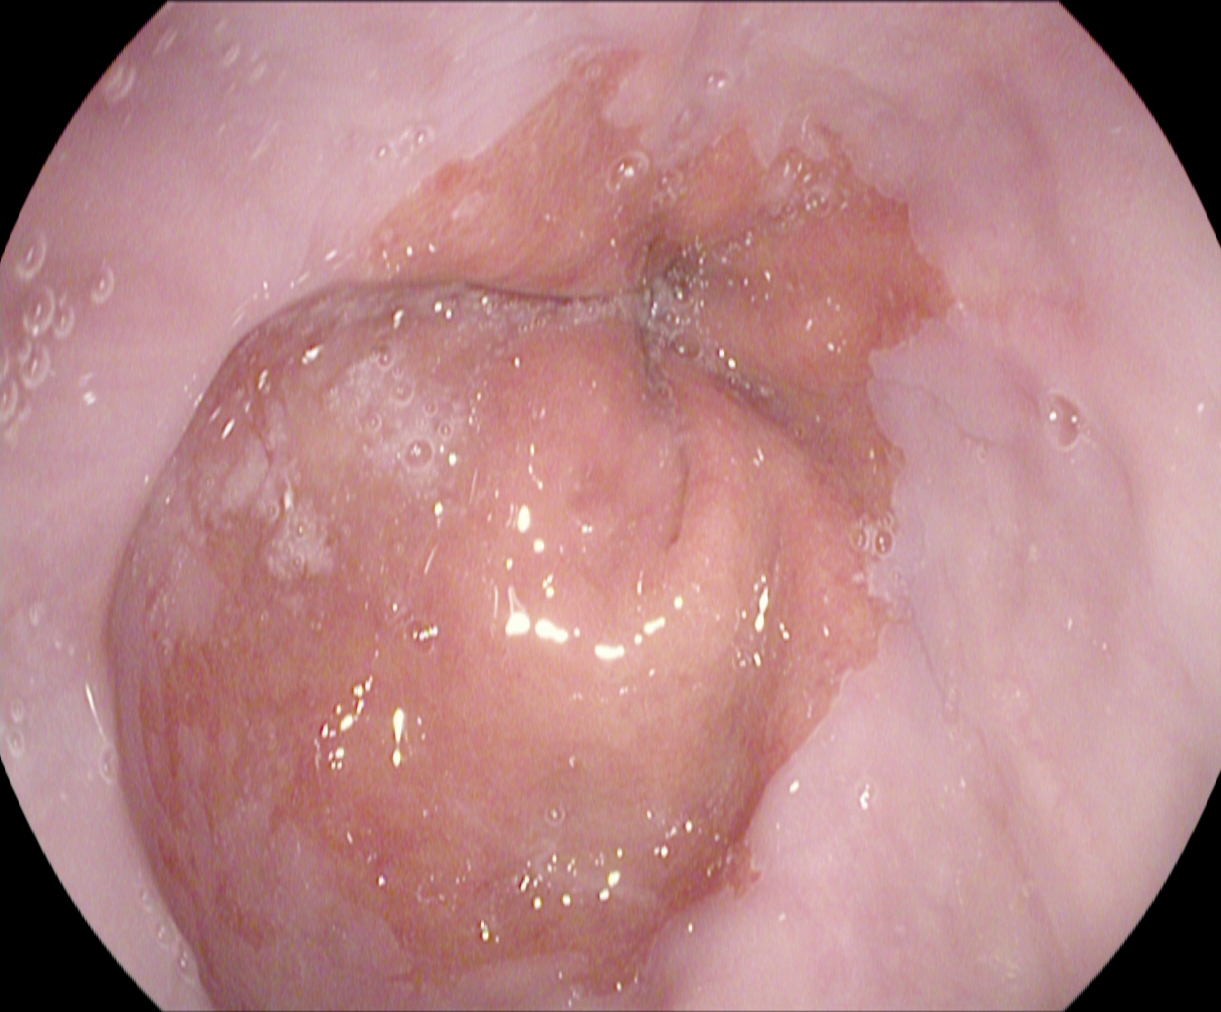Endoscopic frame of the upper GI tract showing Z-line (gastroesophageal junction).